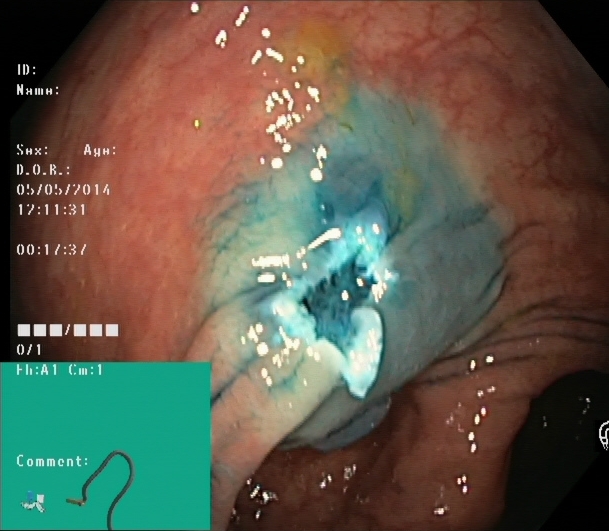PROCEDURE: Lower gastrointestinal endoscopy.
FINDINGS: Dyed resection margins (post-polypectomy).